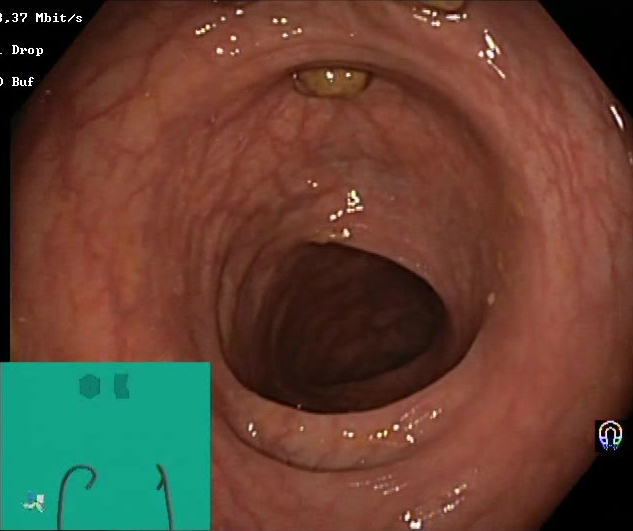modality: lower gastrointestinal endoscopy
tract: lower GI tract
finding: Boston Bowel Preparation Scale score 2–3 (adequate preparation)